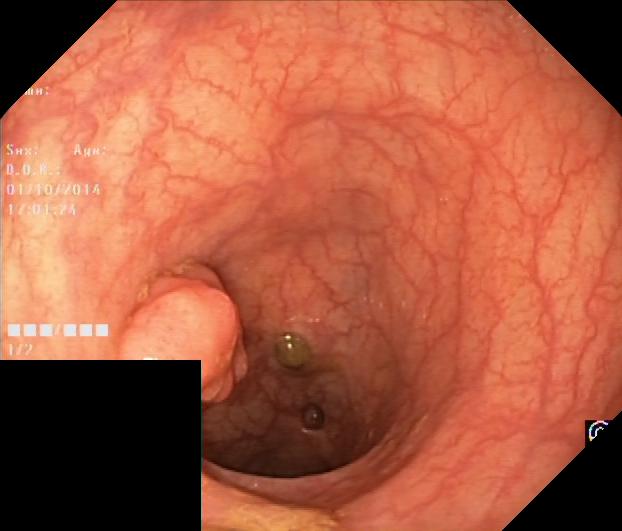modality: colonoscopy | tract: lower GI tract | finding: colorectal polyp(s)